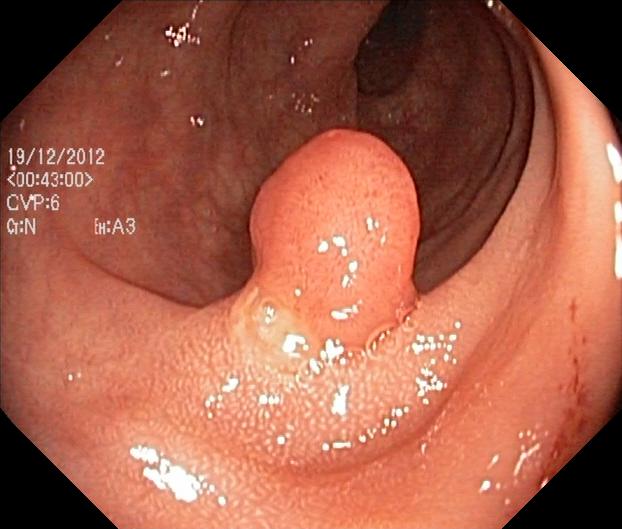modality: lower-GI endoscopy | finding: colorectal polyp(s)